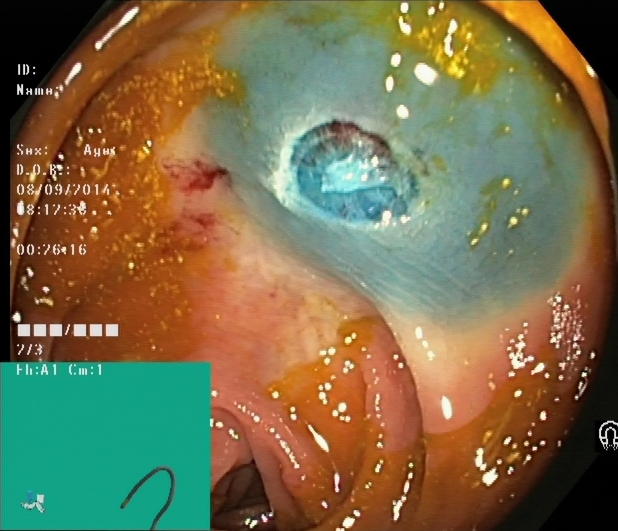{"modality": "colonoscopy", "tract": "lower GI tract", "category": "therapeutic intervention", "finding": "dyed resection margins (post-polypectomy)"}